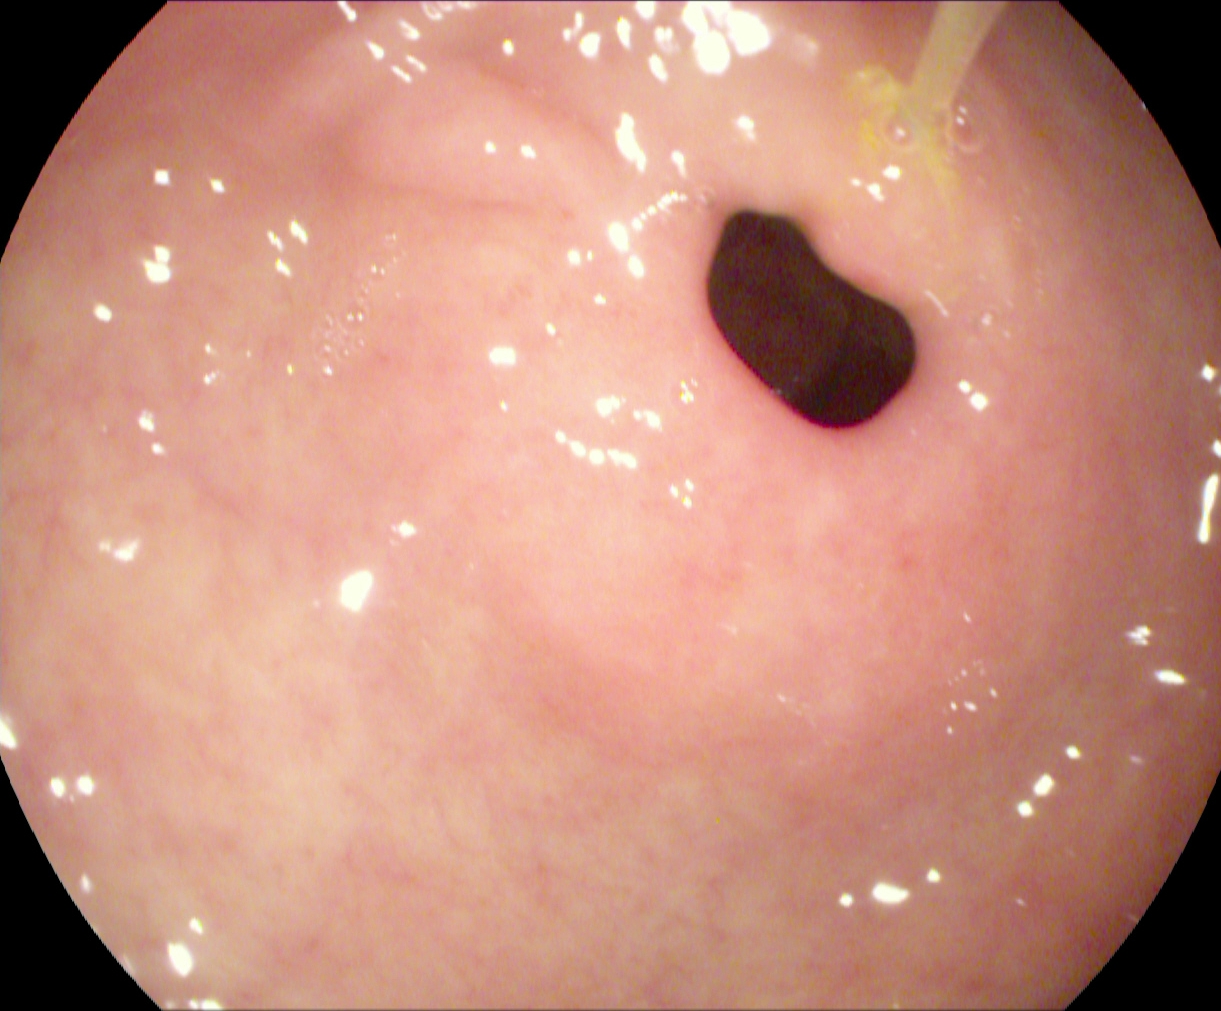Upper-GI endoscopy — pylorus.